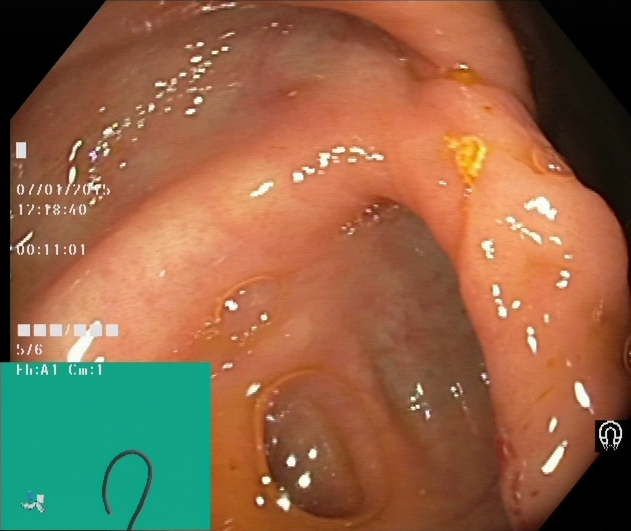{"modality": "lower-GI endoscopy", "tract": "lower GI tract", "finding": "cecum"}